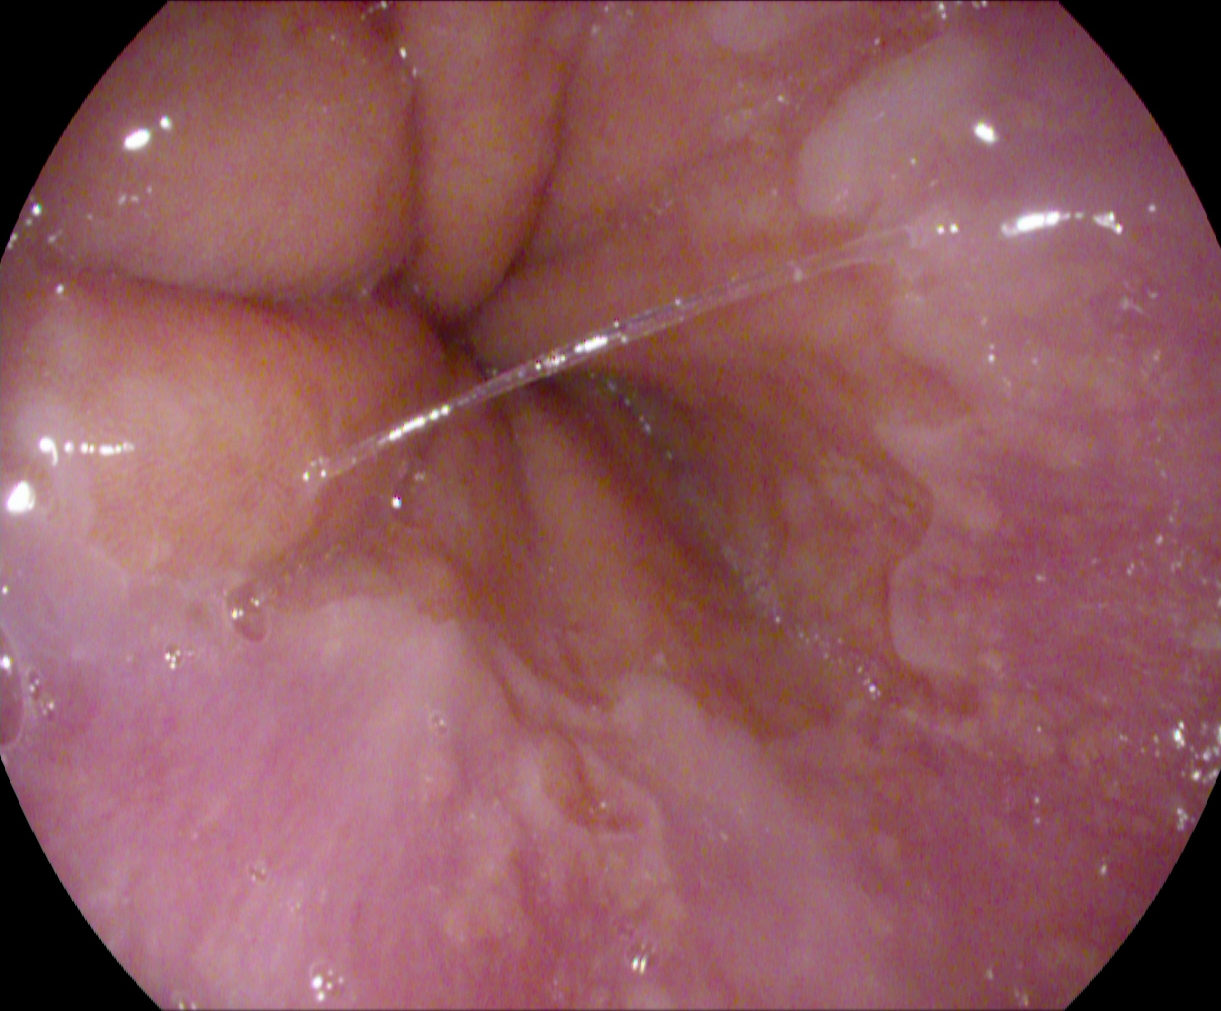{"modality": "upper-GI endoscopy", "tract": "upper GI tract", "finding": "Z-line (gastroesophageal junction)"}